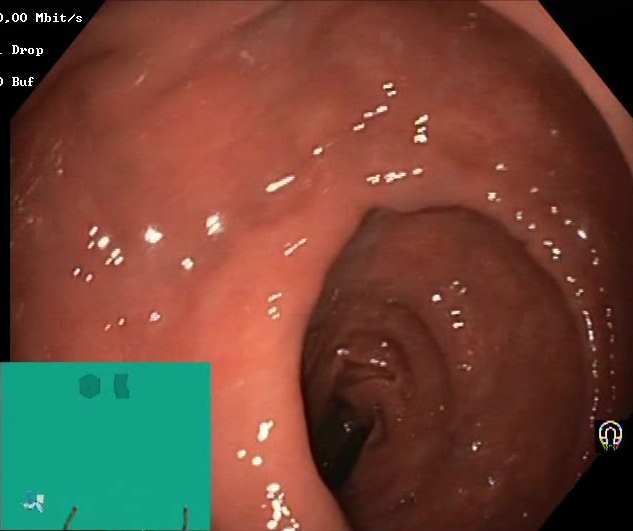modality: lower gastrointestinal endoscopy
tract: lower GI tract
category: mucosal-view quality
finding: BBPS score 2–3 (adequate preparation)